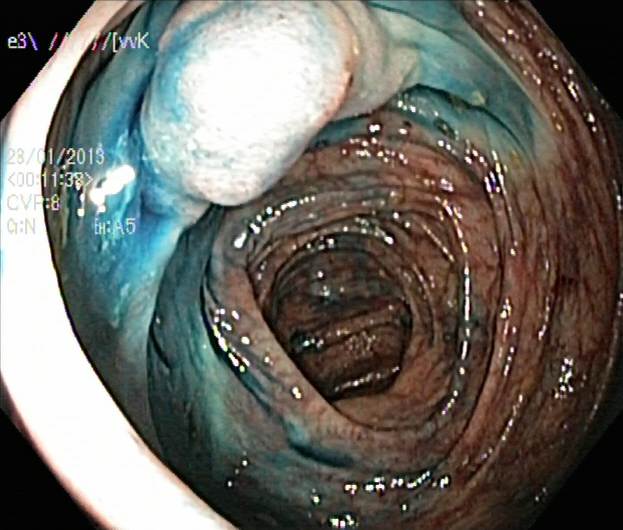{"modality": "lower gastrointestinal endoscopy", "finding": "dyed and lifted polyp (pre-resection)"}